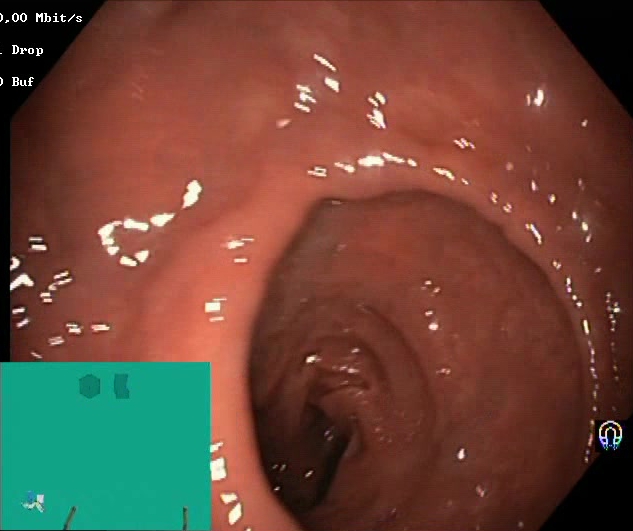This endoscopic image of the lower GI tract shows Boston Bowel Preparation Scale score 2–3 (adequate preparation).